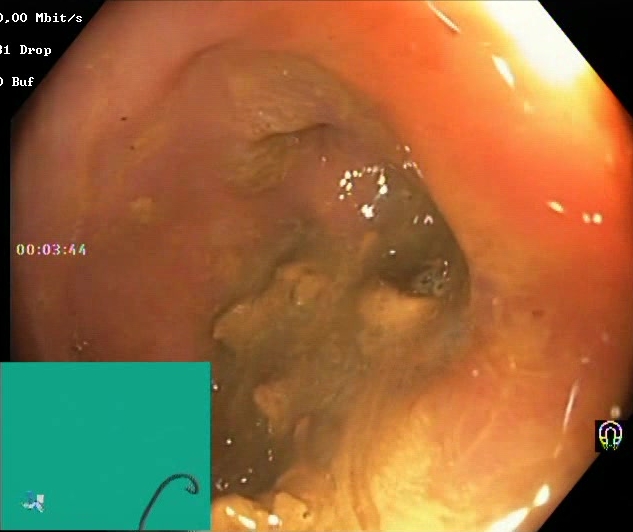Lower gastrointestinal endoscopy — BBPS score 0–1 (inadequate preparation).